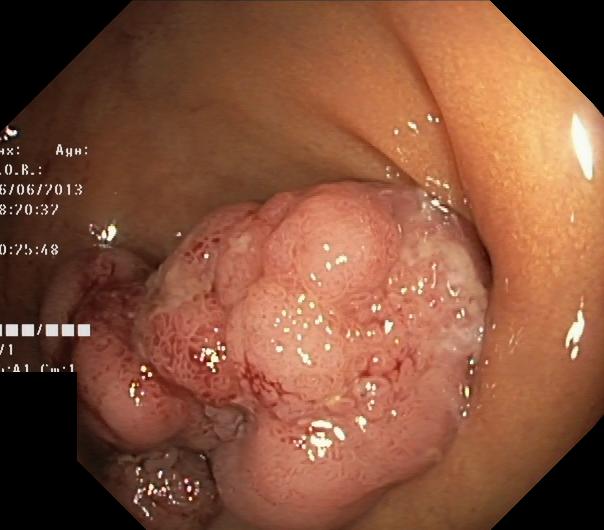Colorectal polyp(s).